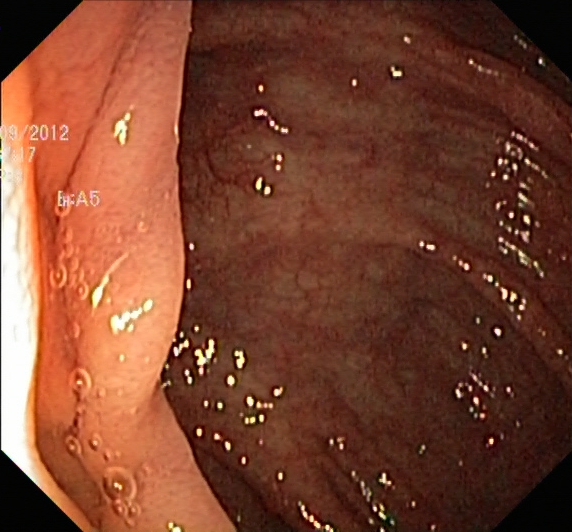{"modality": "lower gastrointestinal endoscopy", "finding": "ulcerative colitis, Mayo endoscopic subscore 0\u20131"}